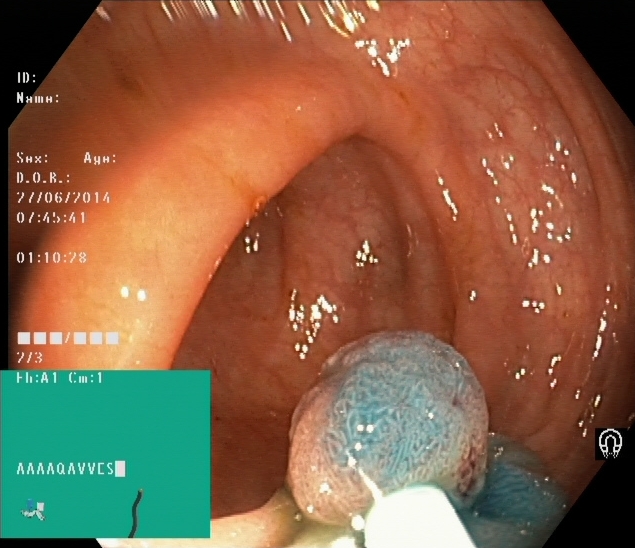modality: lower gastrointestinal endoscopy; category: therapeutic intervention; finding: dyed and lifted polyp (pre-resection)